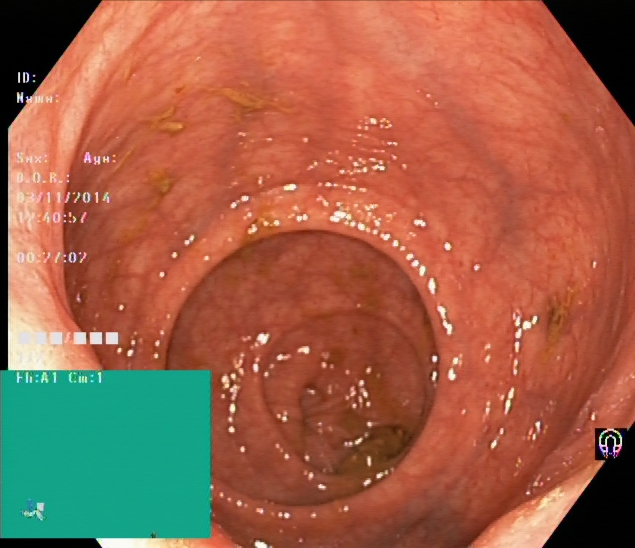Endoscopy image of the lower GI tract showing ulcerative colitis, Mayo endoscopic subscore 1.